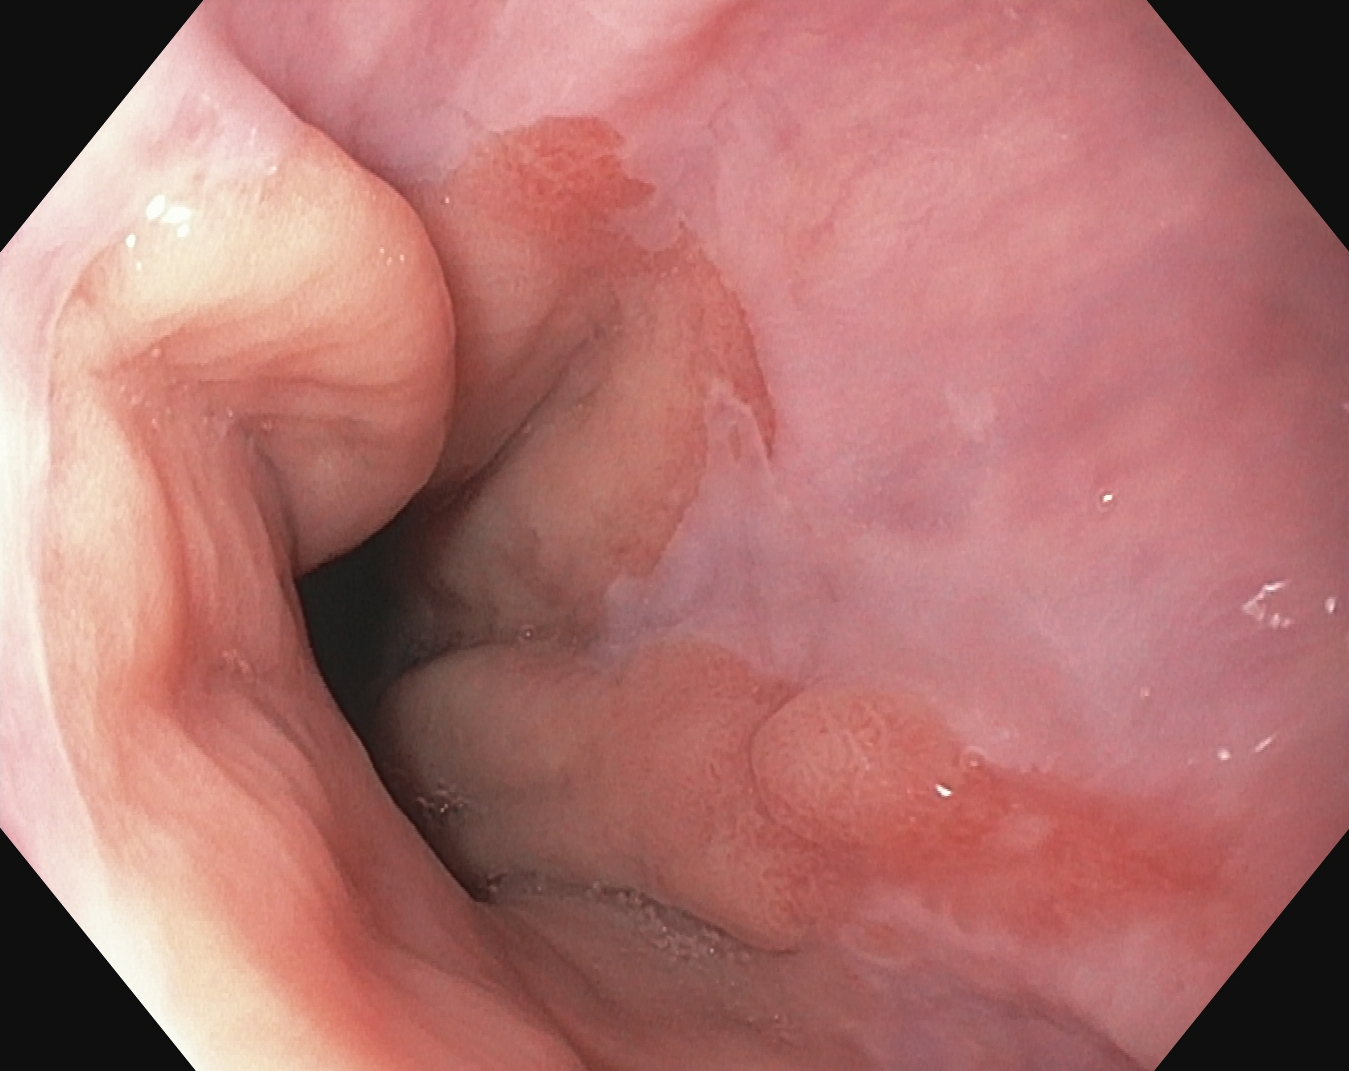{"modality": "gastroscopy", "finding": "reflux esophagitis, Los Angeles grade A"}